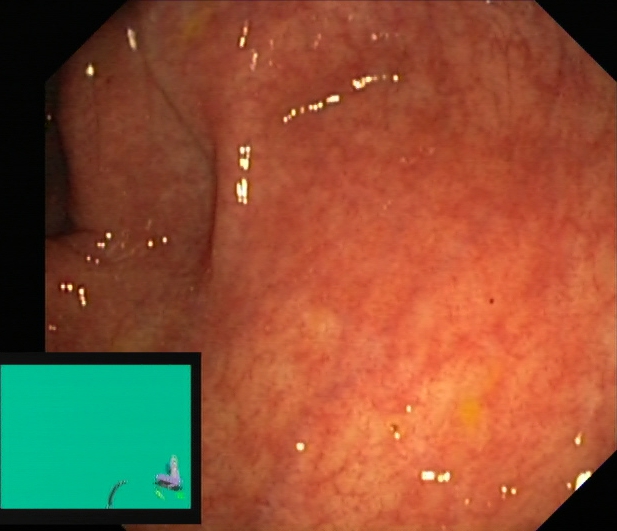modality: lower-GI endoscopy; tract: lower GI tract; category: pathological finding; finding: UC, Mayo endoscopic subscore 1